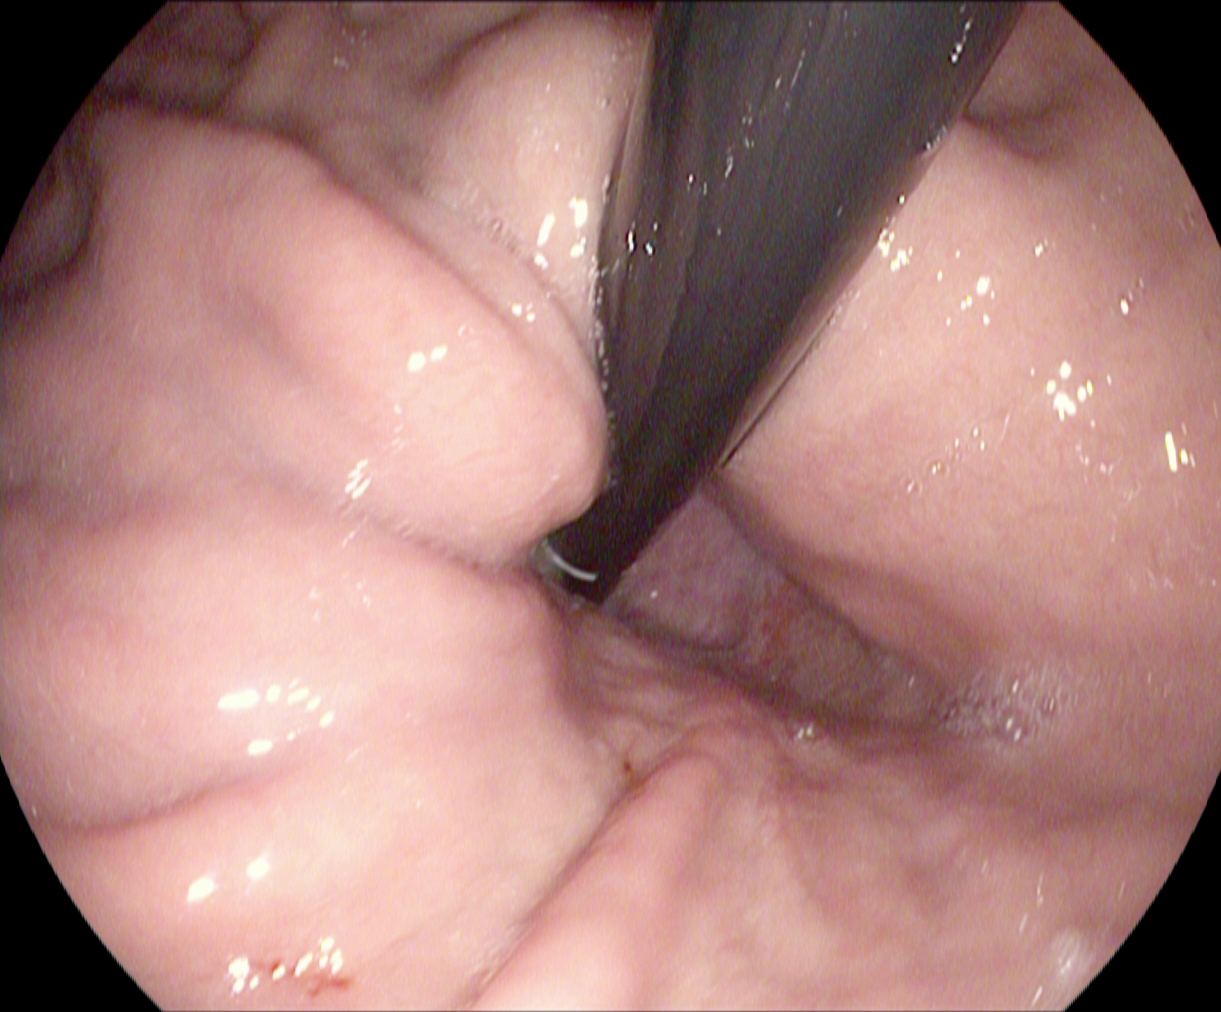This endoscopy frame of the upper GI tract shows stomach in retroflexion.